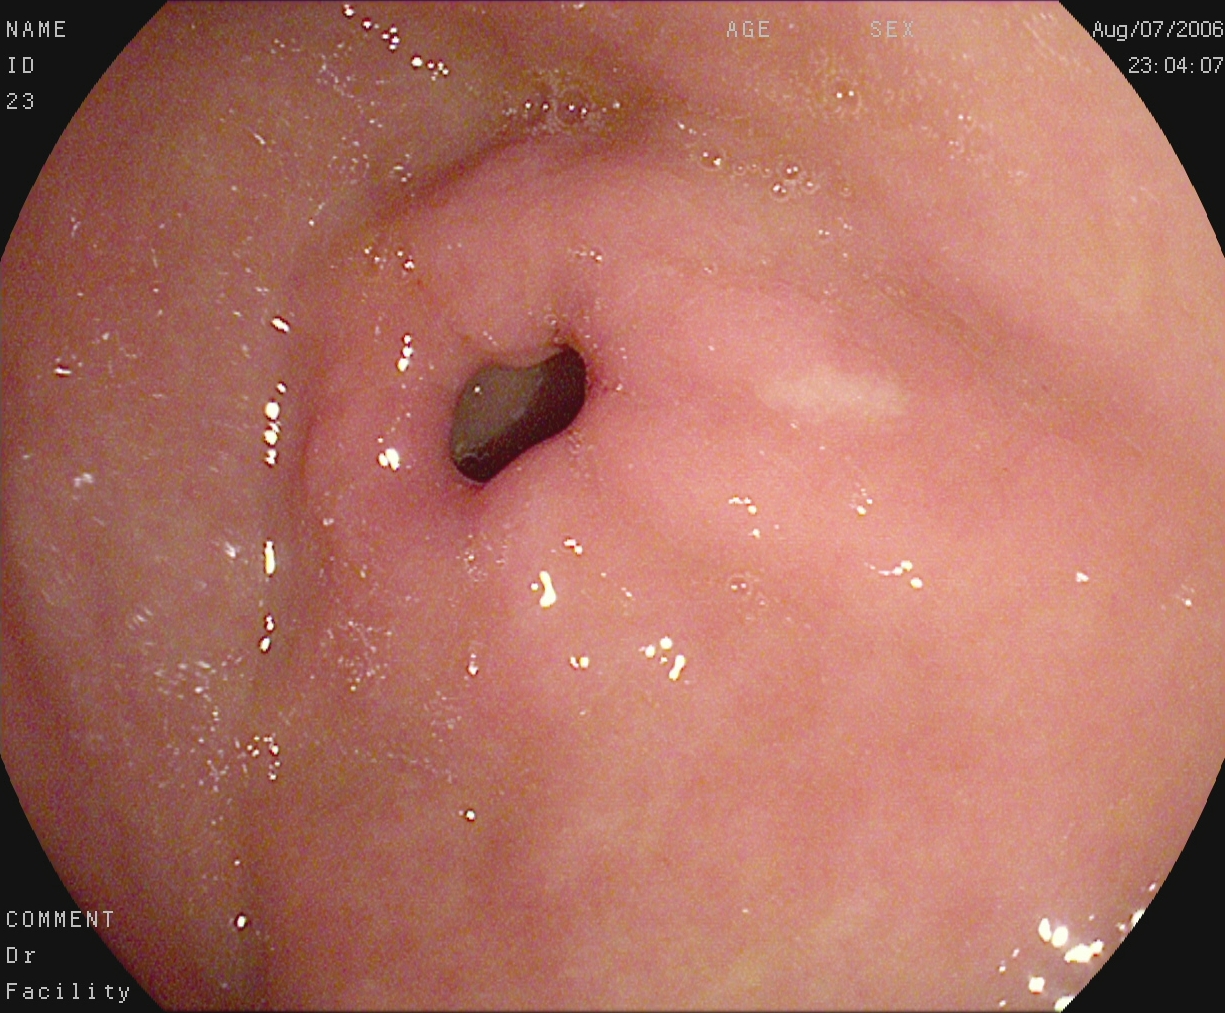Esophagogastroduodenoscopy image of the upper GI tract showing pylorus.